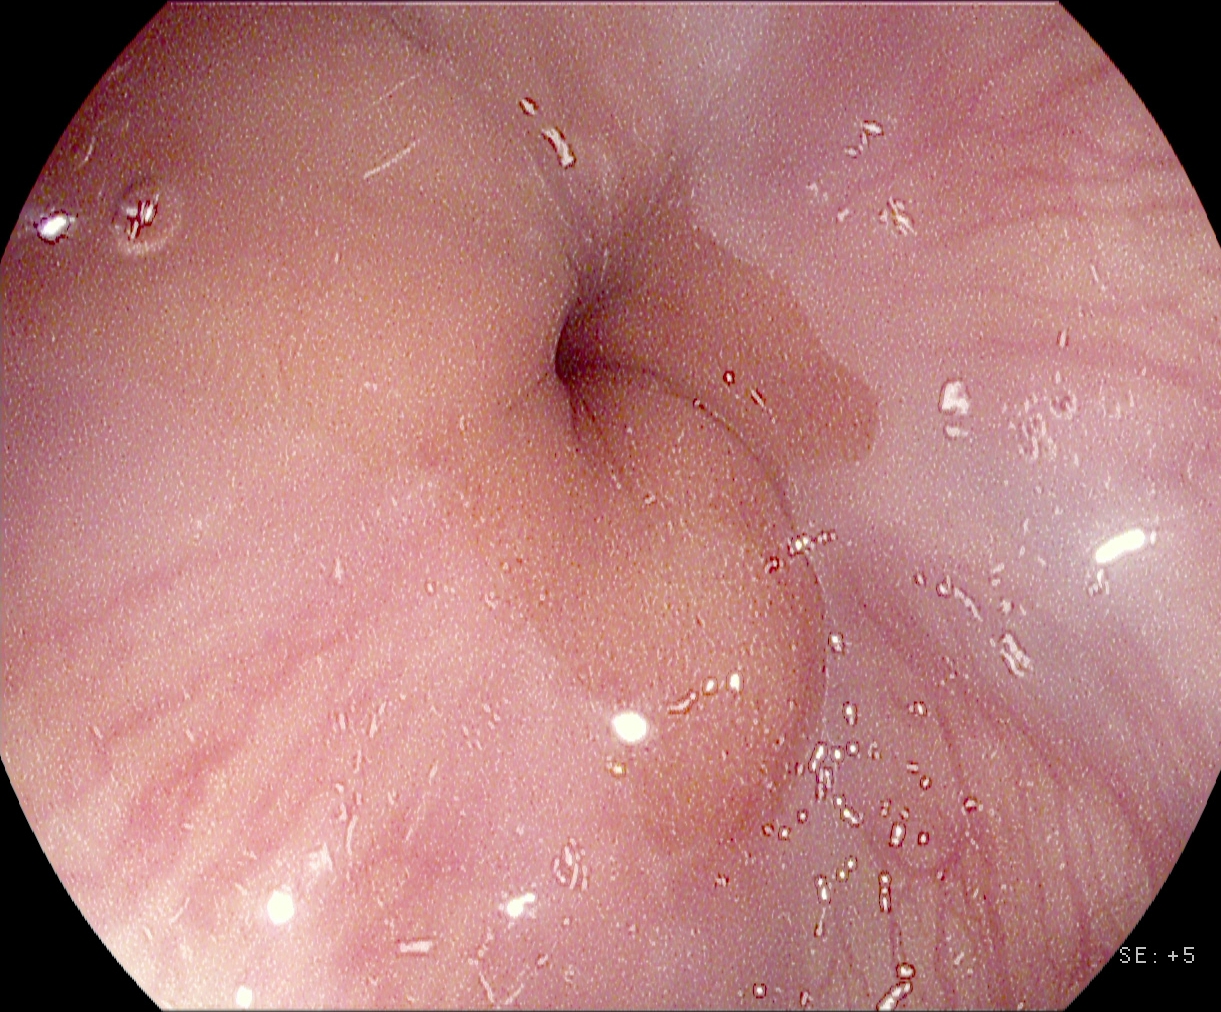modality: EGD
finding: Z-line (gastroesophageal junction)